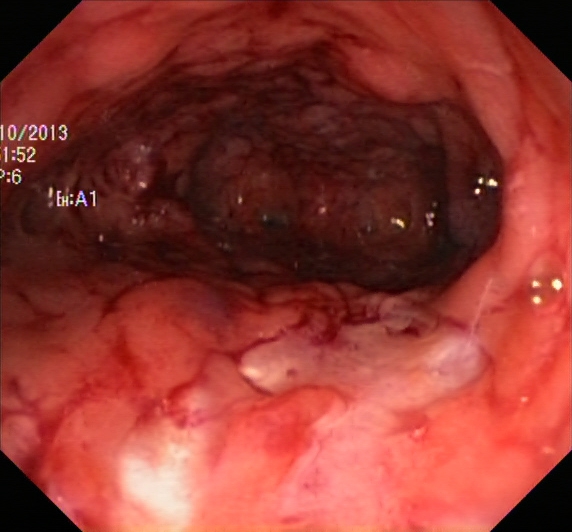PROCEDURE: Lower-GI endoscopy.
FINDINGS: Ulcerative colitis, Mayo endoscopic subscore 3.